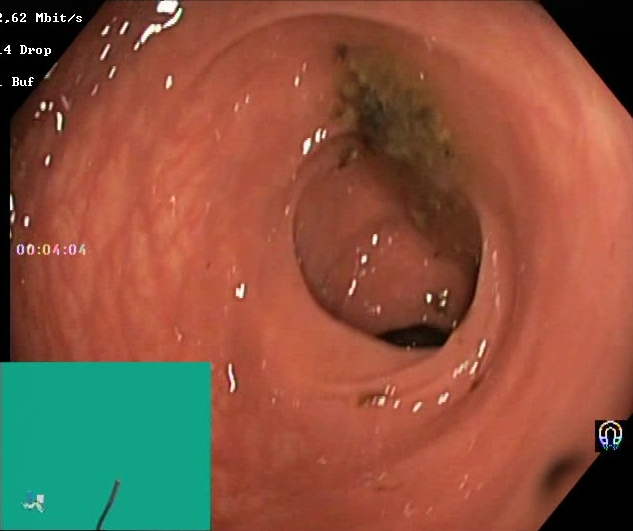Boston Bowel Preparation Scale score 0–1 (inadequate preparation).